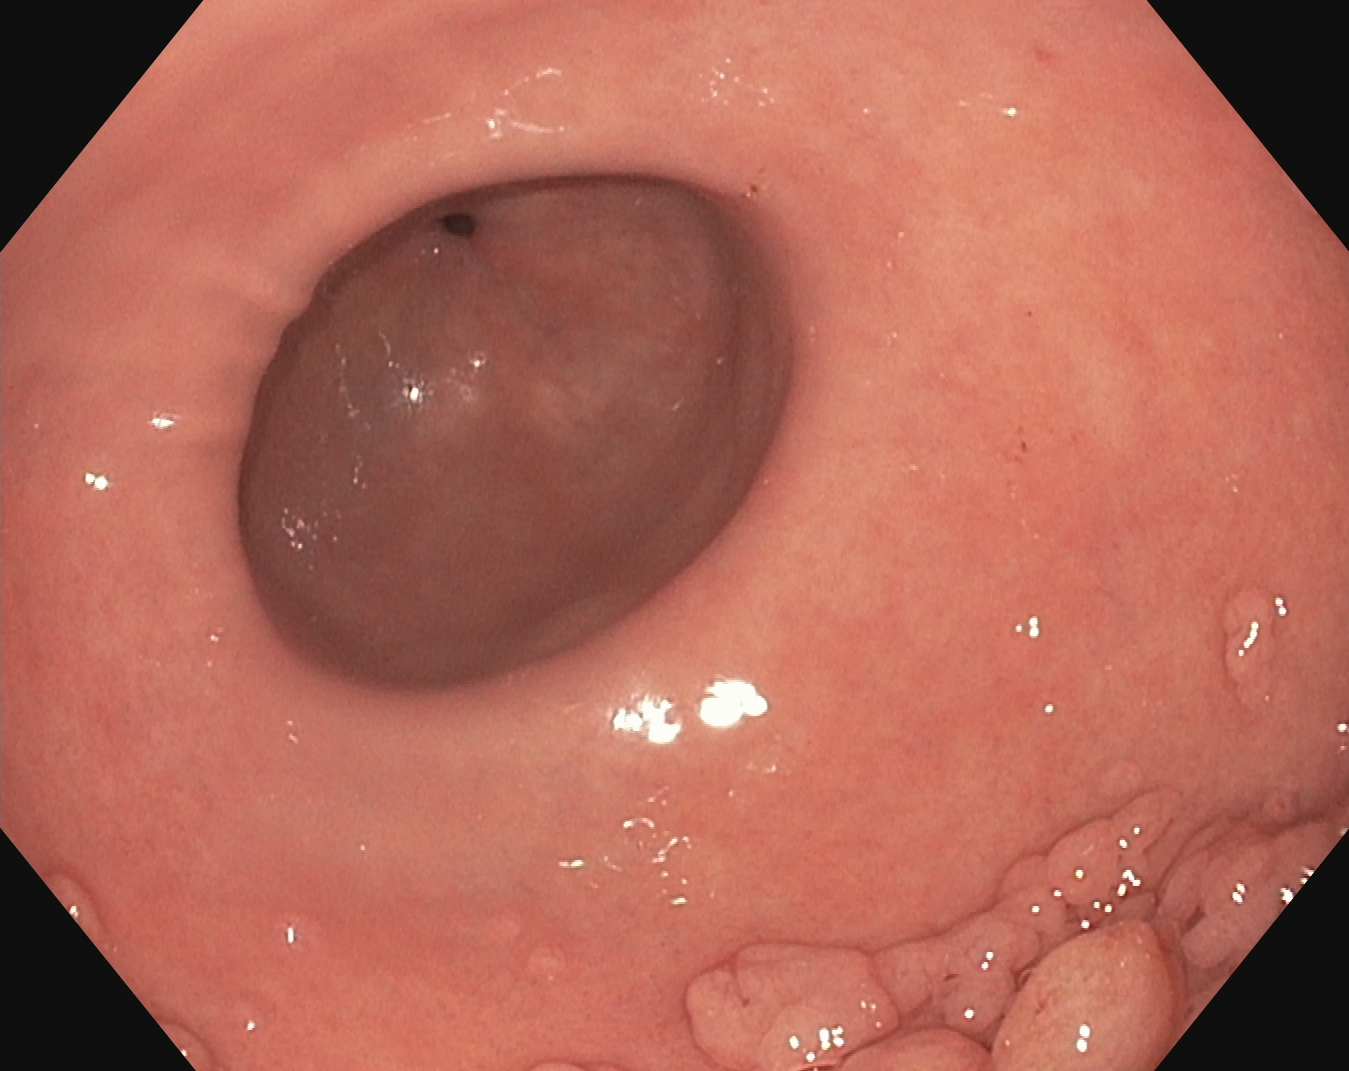modality: upper-GI endoscopy; tract: upper GI tract; category: anatomical landmark; finding: pylorus